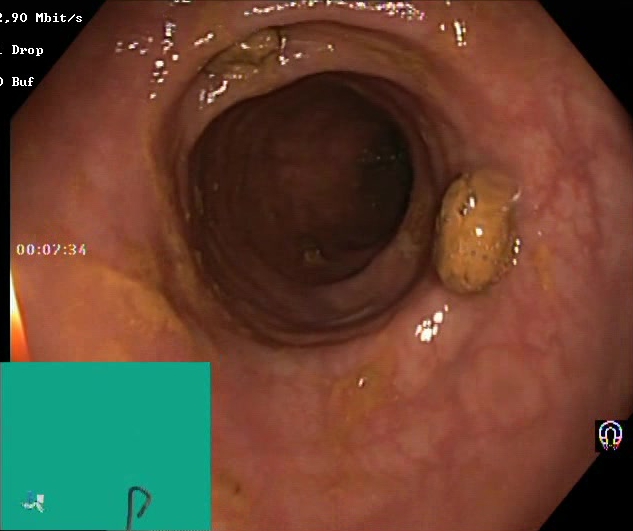PROCEDURE: Lower gastrointestinal endoscopy.
FINDINGS: Impacted stool.